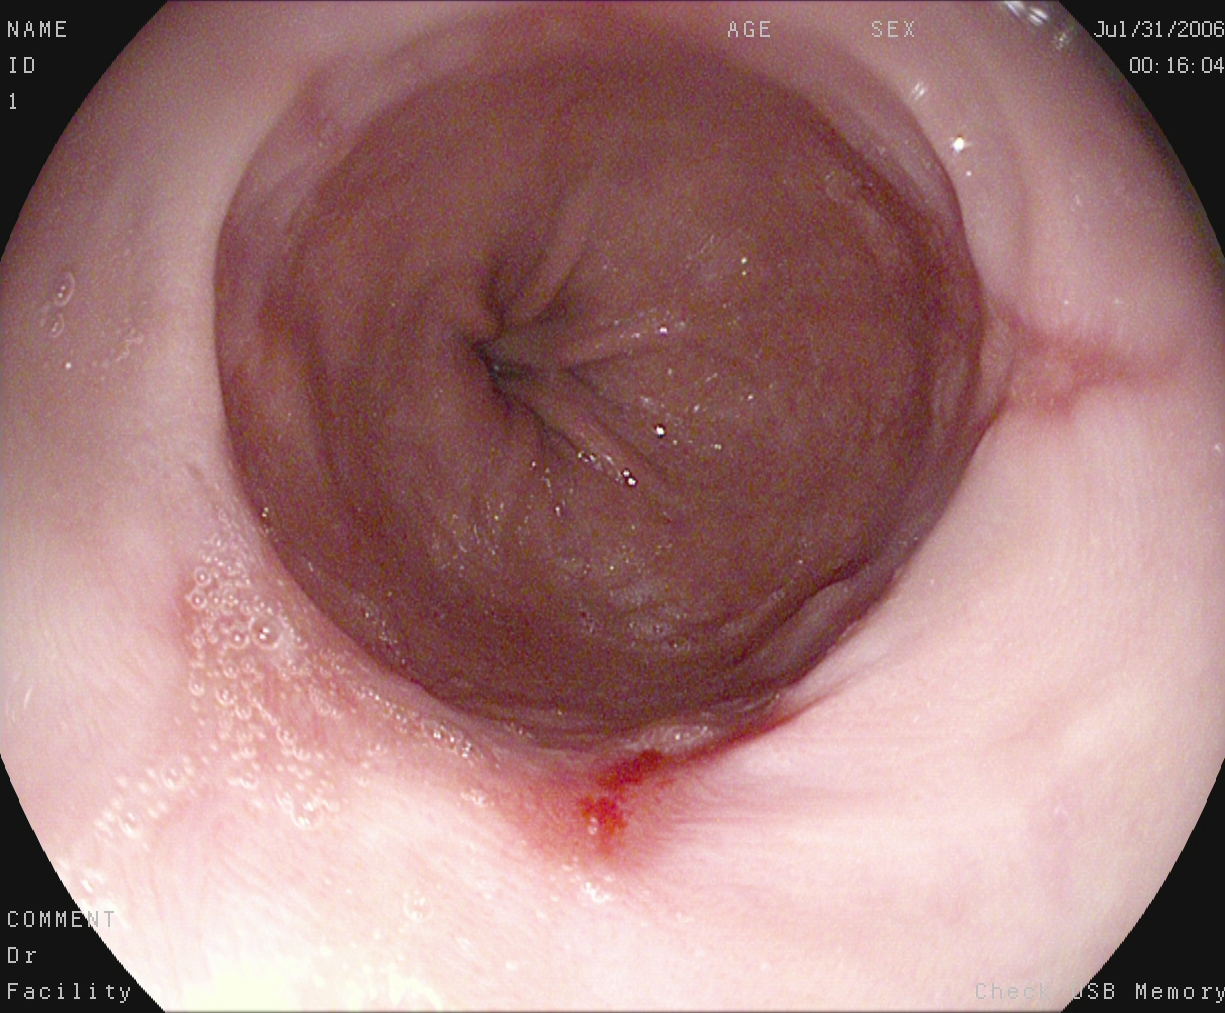Endoscopic frame of the upper GI tract showing reflux esophagitis, LA grade A.